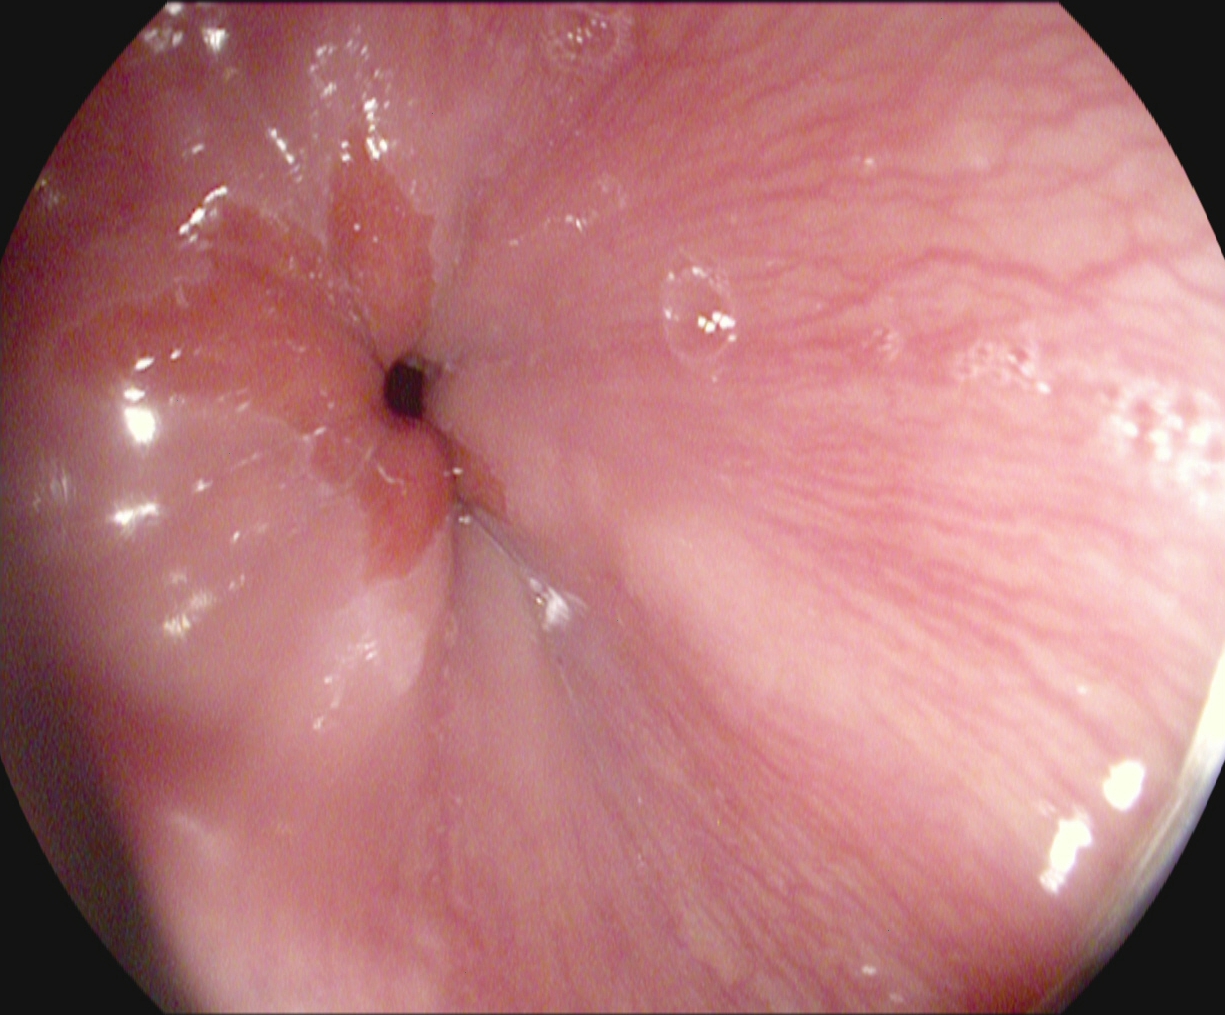modality: esophagogastroduodenoscopy | finding: Z-line (gastroesophageal junction)